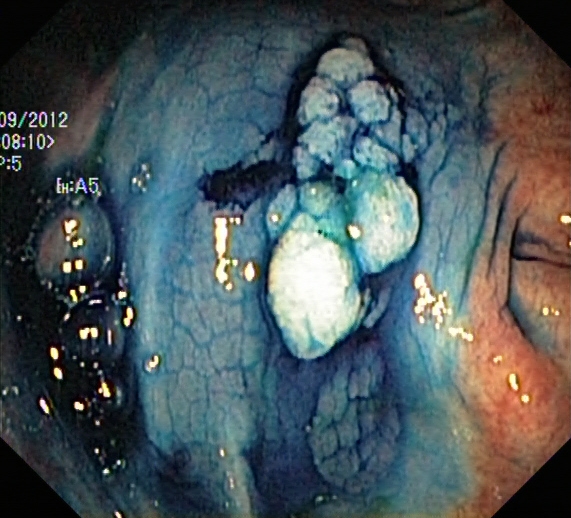Dyed and lifted polyp (pre-resection).